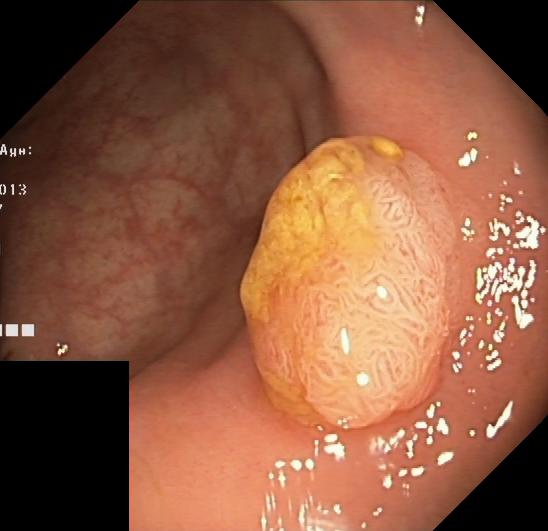Colonoscopy image of the lower GI tract showing colorectal polyp(s).